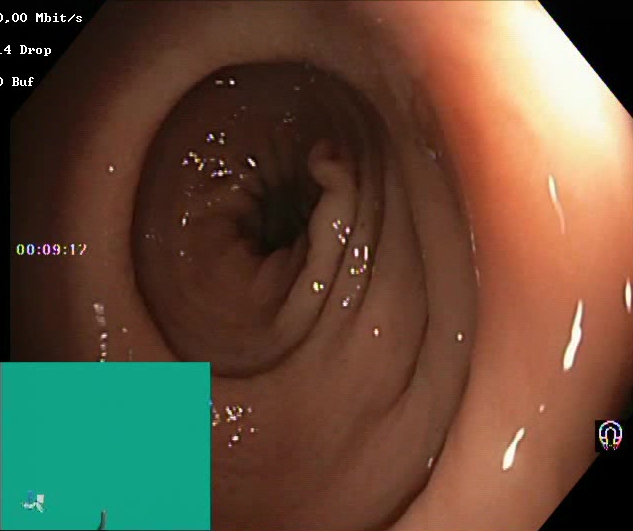This endoscopy frame of the lower GI tract shows BBPS score 2–3 (adequate preparation).